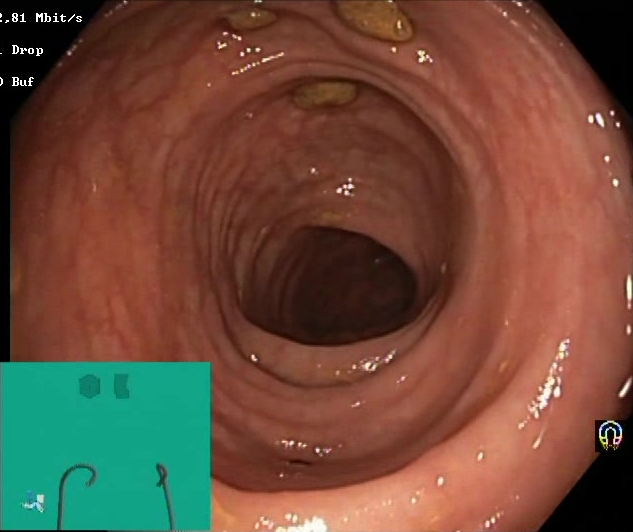Colonoscopy. Tract: lower GI tract. Mucosal-view quality. Finding: impacted stool.